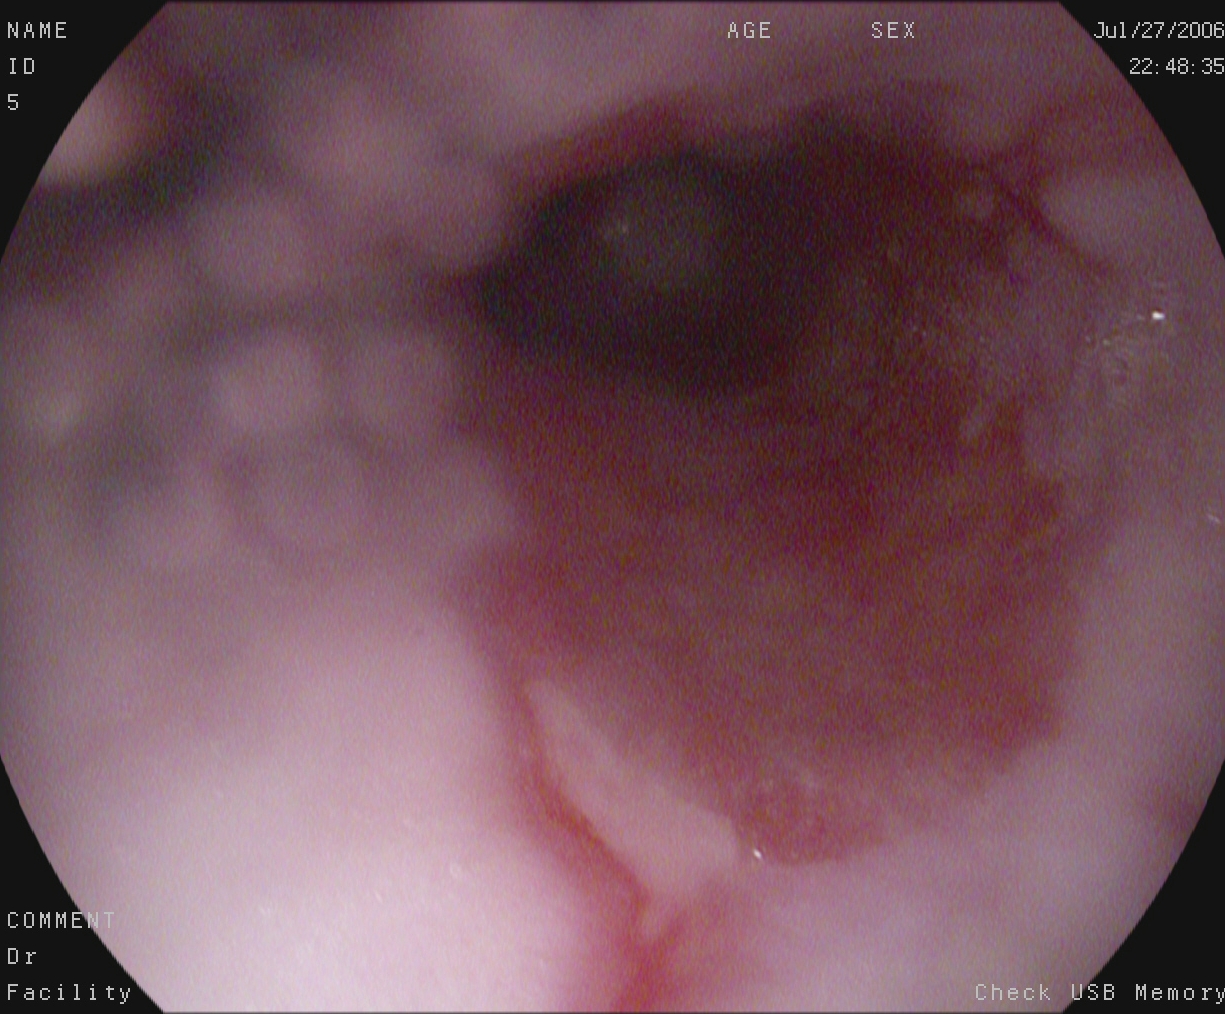Upper-GI endoscopy — reflux esophagitis, LA grade B–D.